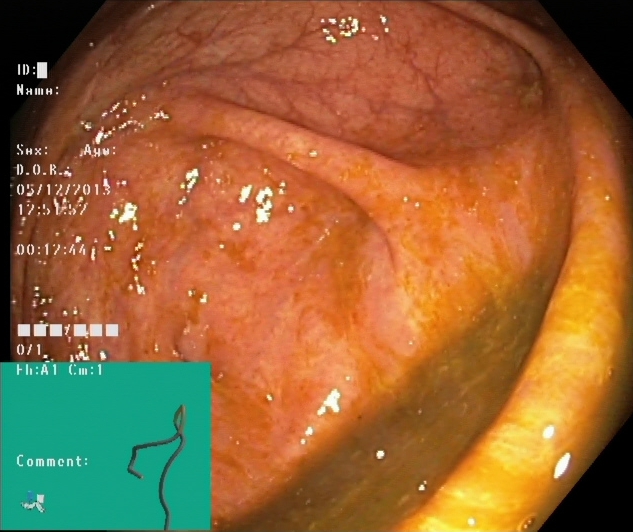{"modality": "lower-GI endoscopy", "tract": "lower GI tract", "category": "anatomical landmark", "finding": "cecum"}